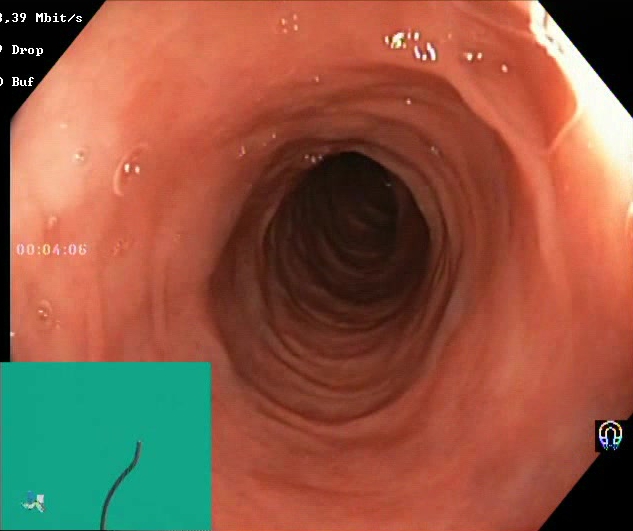PROCEDURE: Lower gastrointestinal endoscopy.
FINDINGS: Boston Bowel Preparation Scale score 2–3 (adequate preparation).